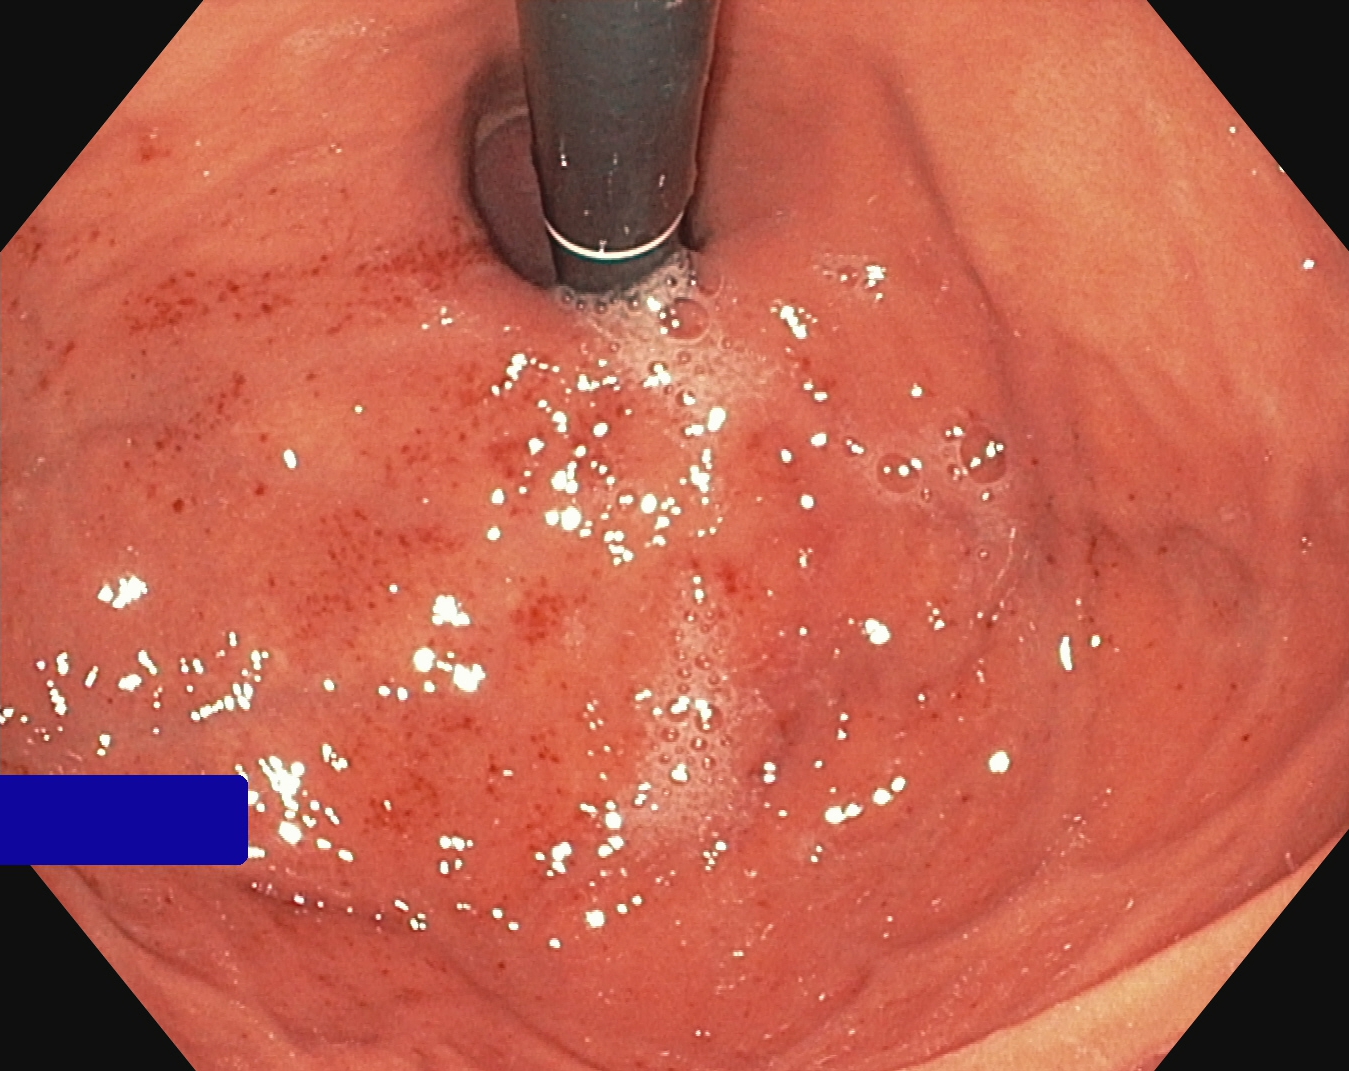{"modality": "EGD", "finding": "stomach in retroflexion"}